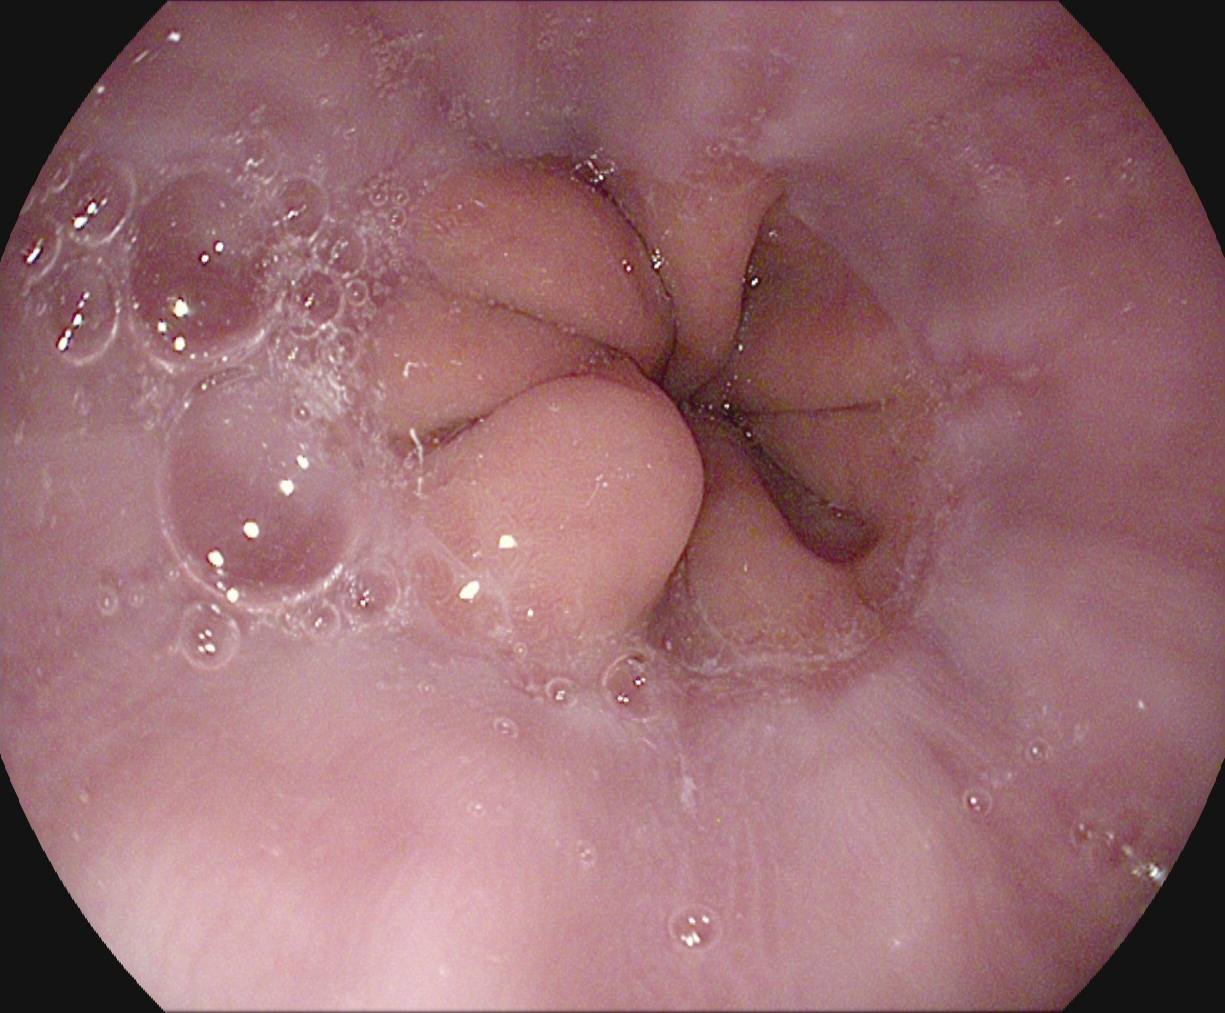Endoscopy image showing reflux esophagitis, Los Angeles grade A.